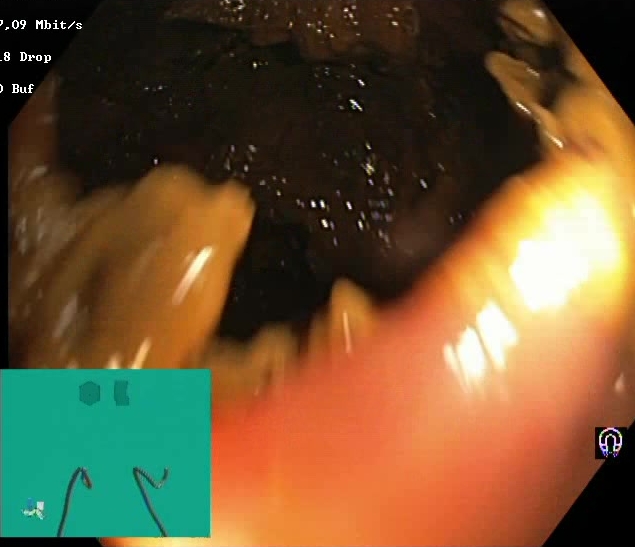BBPS score 0–1 (inadequate preparation).